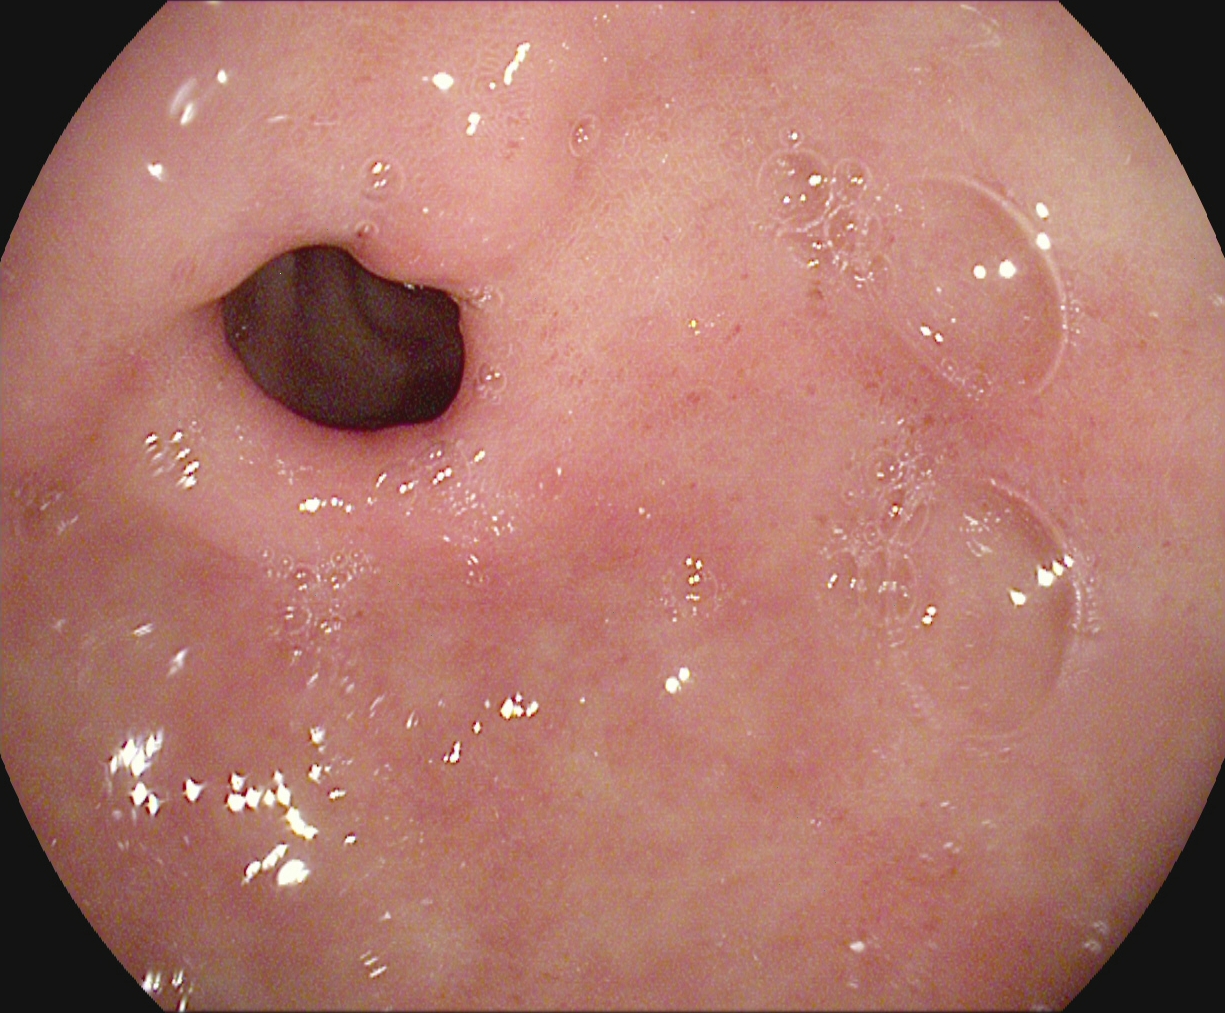GI endoscopy image of the upper GI tract showing pylorus.